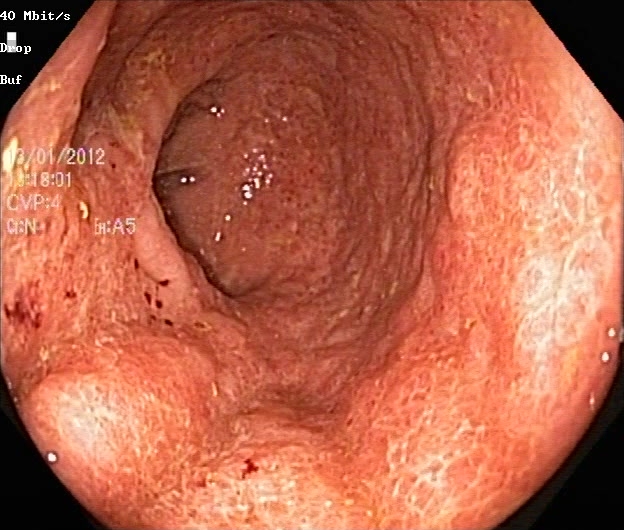This endoscopic image of the lower GI tract shows ulcerative colitis, Mayo endoscopic subscore 2.